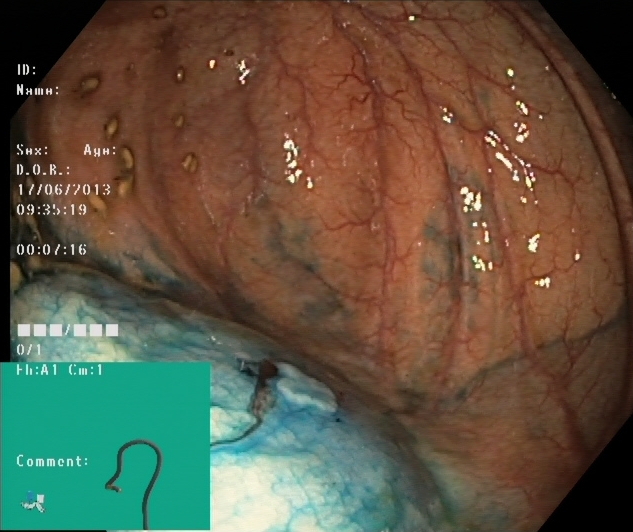PROCEDURE: Colonoscopy.
FINDINGS: Dyed and lifted polyp (pre-resection).